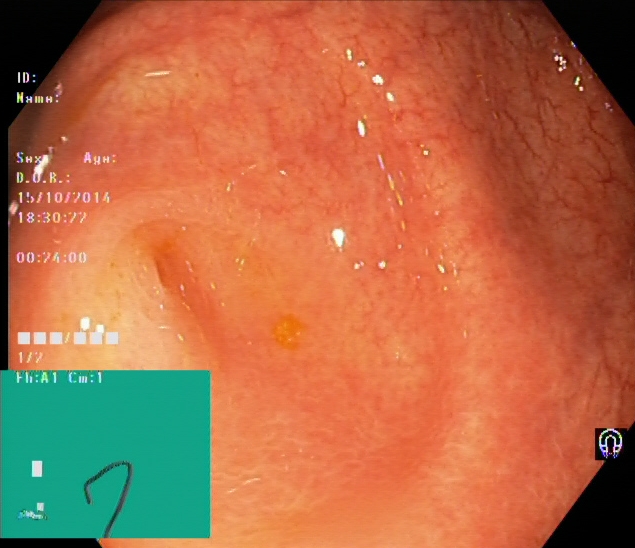PROCEDURE: Lower gastrointestinal endoscopy.
FINDINGS: Cecum.